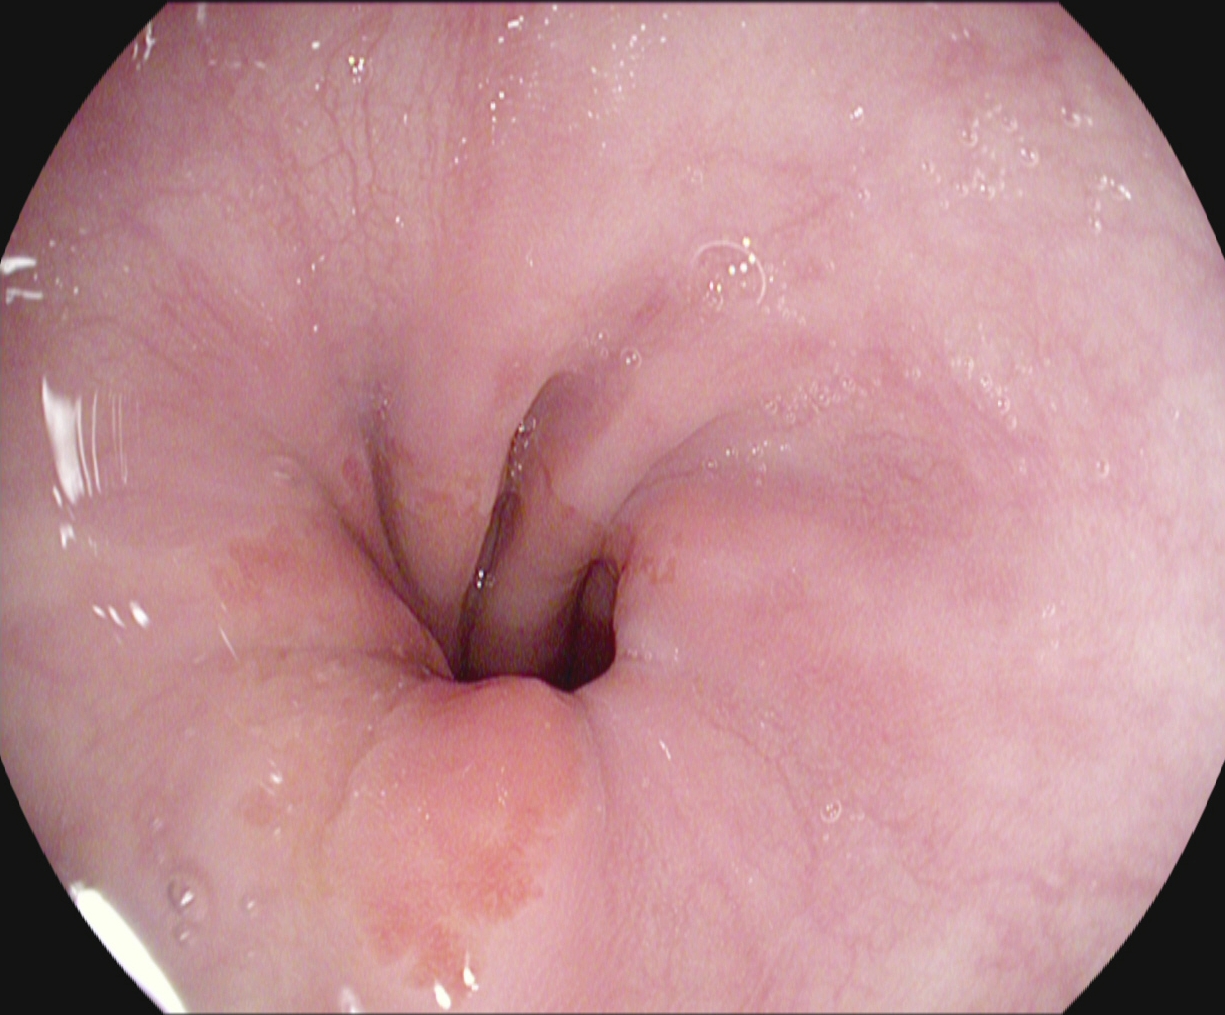Endoscopic image of the upper GI tract showing Z-line (gastroesophageal junction).